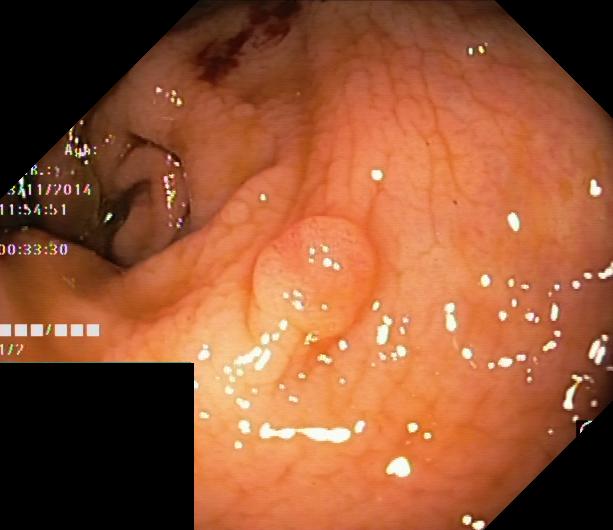modality: lower gastrointestinal endoscopy
tract: lower GI tract
finding: colorectal polyp(s)